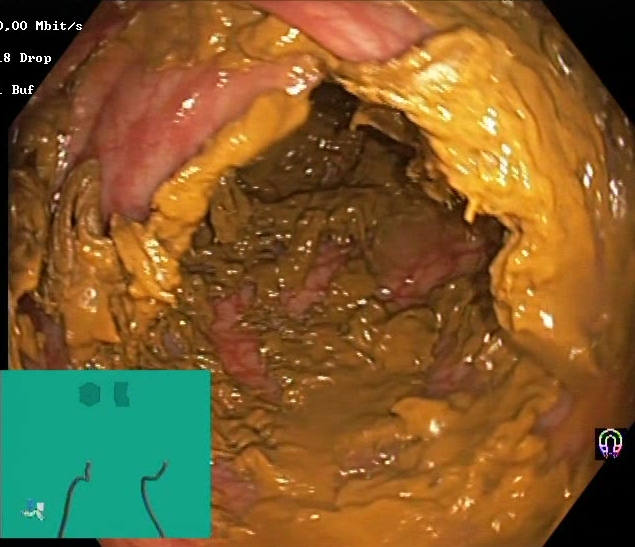PROCEDURE: Colonoscopy.
FINDINGS: BBPS score 0–1 (inadequate preparation).